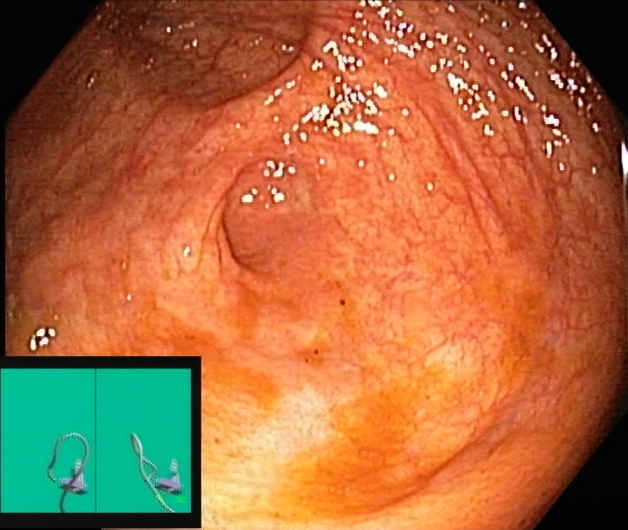{"modality": "colonoscopy", "finding": "cecum"}